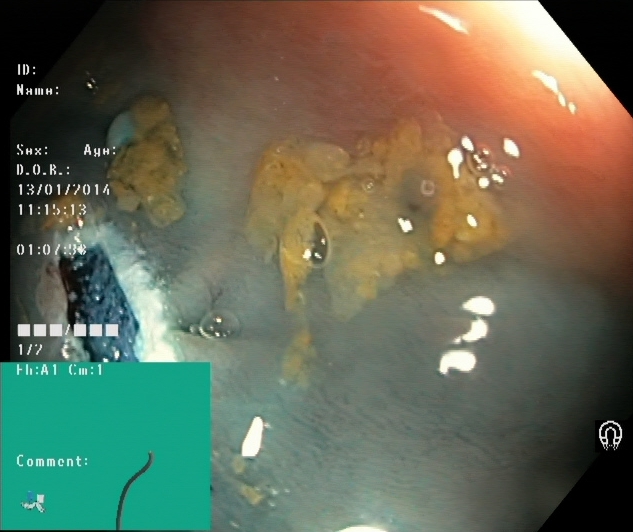Colonoscopy. Tract: lower GI tract. Therapeutic intervention. Finding: dyed resection margins (post-polypectomy).